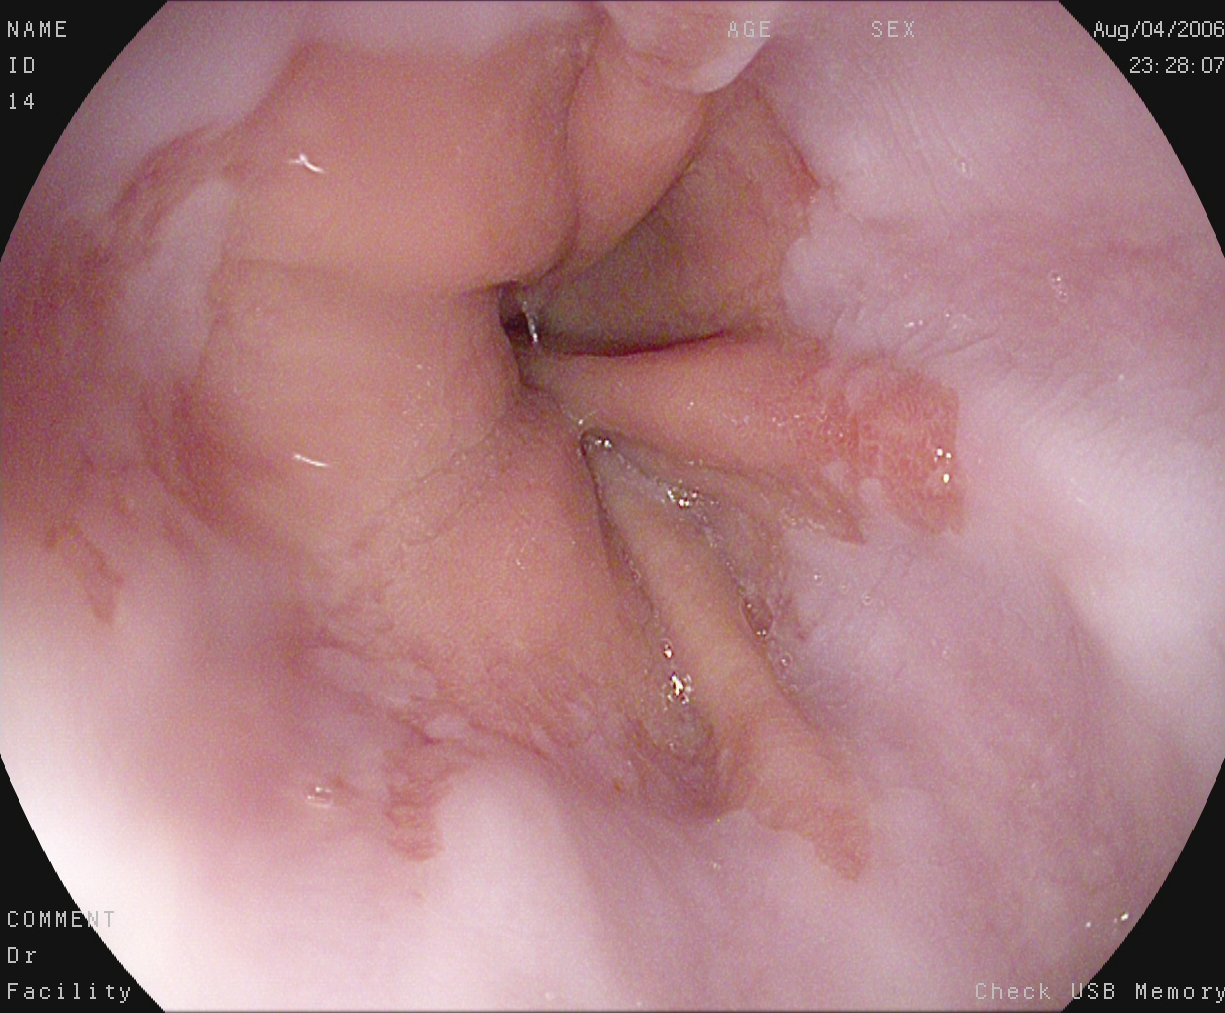Gastroscopy. Tract: upper GI tract. Finding: reflux esophagitis, Los Angeles grade A.